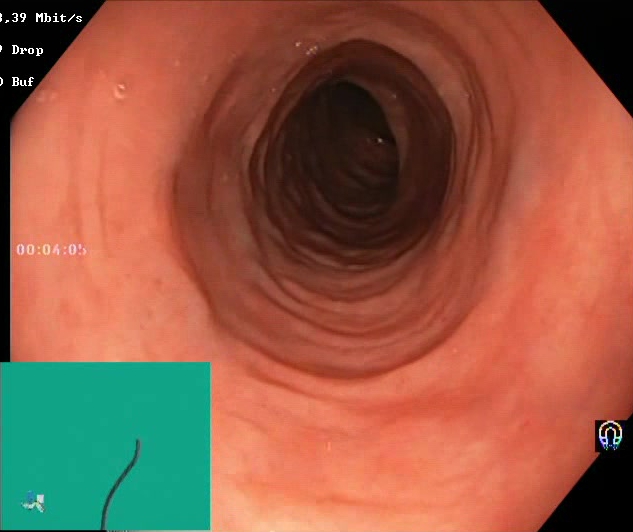This endoscopy frame shows BBPS score 2–3 (adequate preparation).